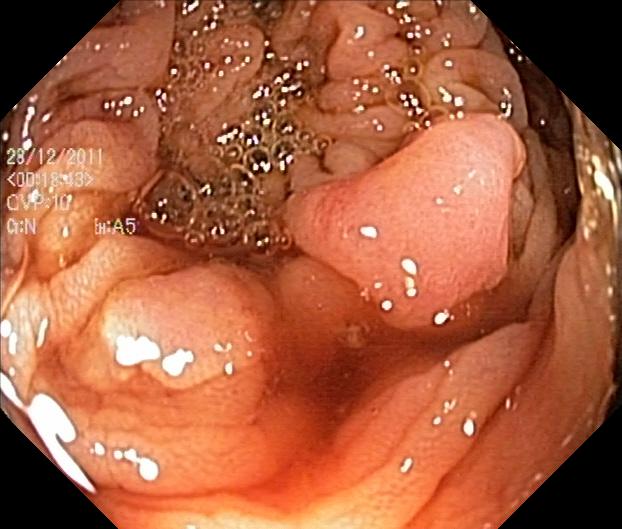This endoscopic image shows colorectal polyp(s).